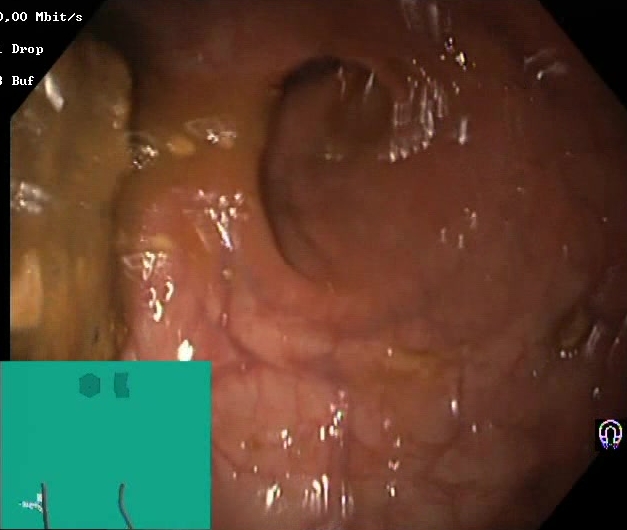{"modality": "lower gastrointestinal endoscopy", "tract": "lower GI tract", "finding": "Boston Bowel Preparation Scale score 0\u20131 (inadequate preparation)"}